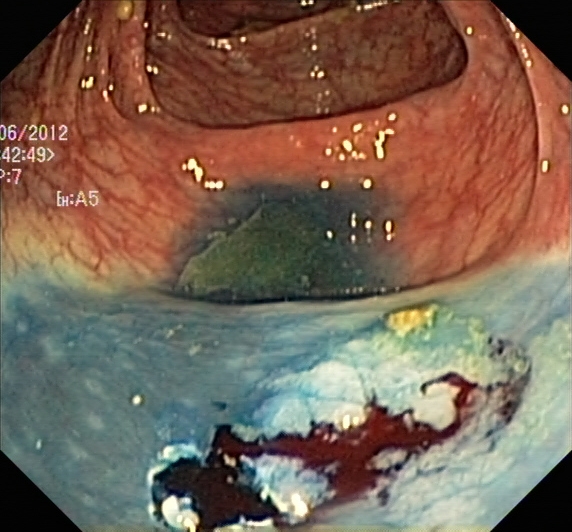This endoscopy frame of the lower GI tract shows dyed resection margins (post-polypectomy).